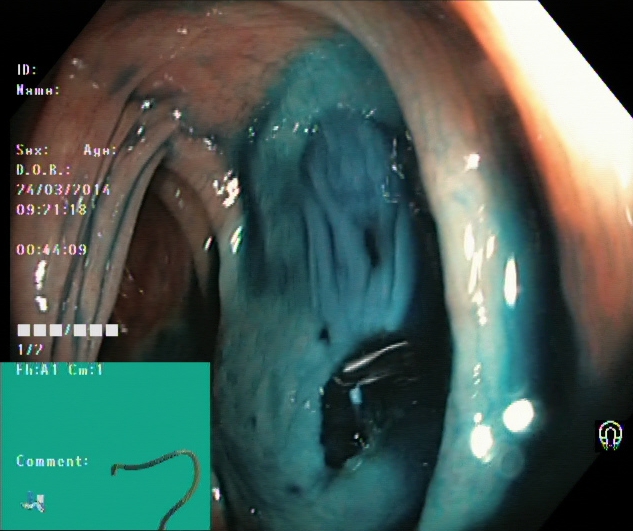{"modality": "lower gastrointestinal endoscopy", "finding": "dyed and lifted polyp (pre-resection)"}